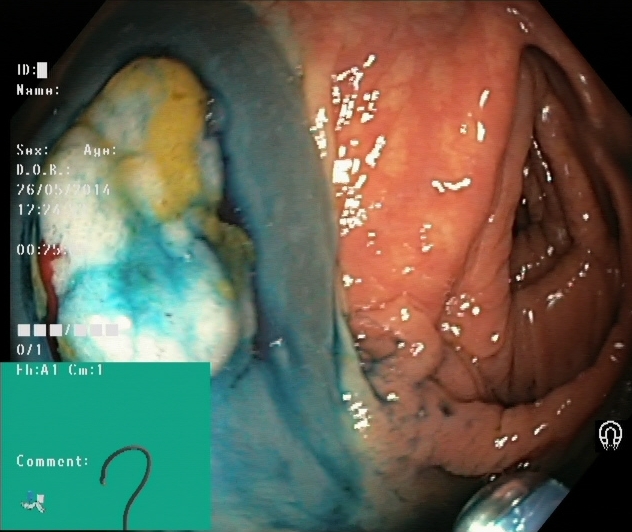modality: colonoscopy
tract: lower GI tract
finding: dyed and lifted polyp (pre-resection)